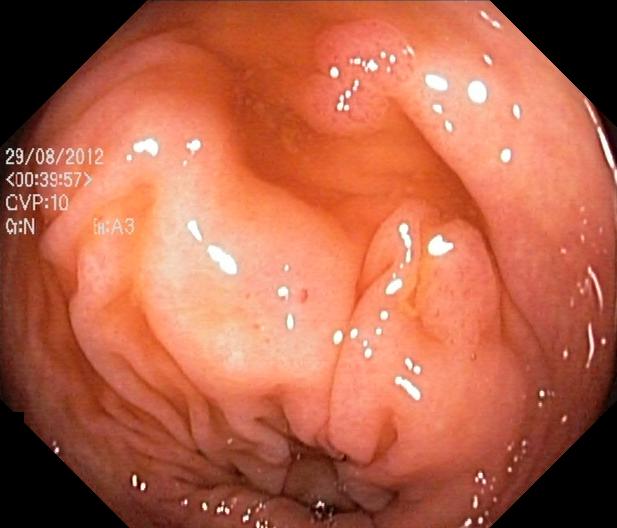Lower gastrointestinal endoscopy. Tract: lower GI tract. Finding: colorectal polyp(s).